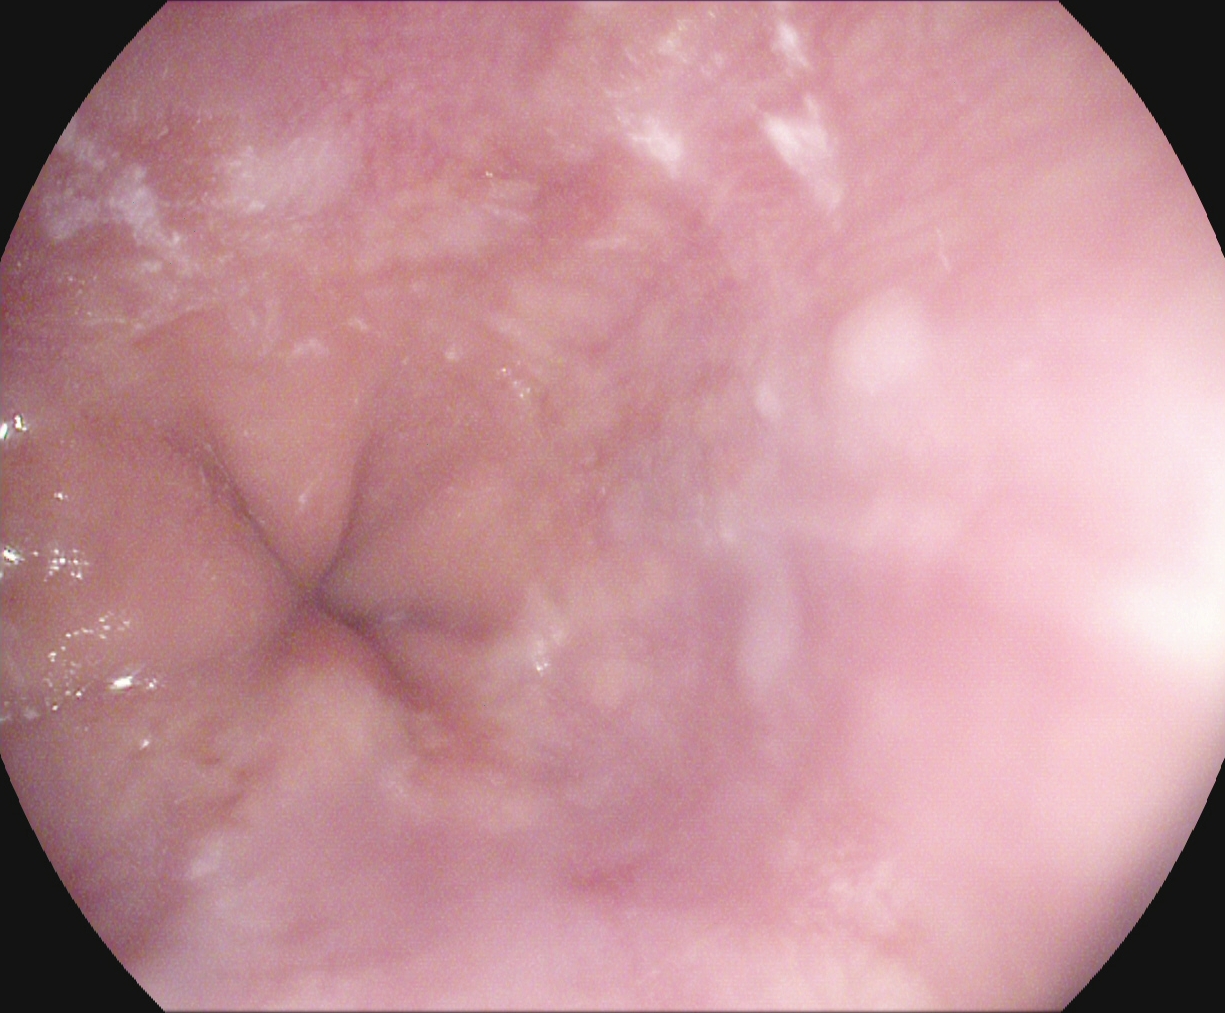PROCEDURE: Gastroscopy.
CATEGORY: Anatomical landmark.
FINDINGS: Z-line (gastroesophageal junction).